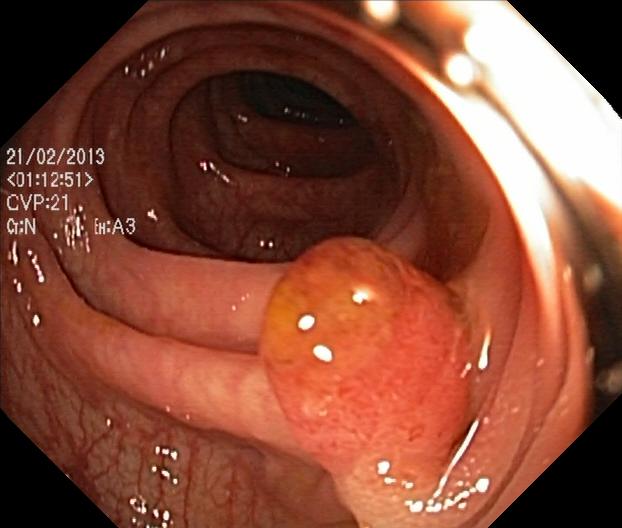modality: lower gastrointestinal endoscopy; finding: colorectal polyp(s)